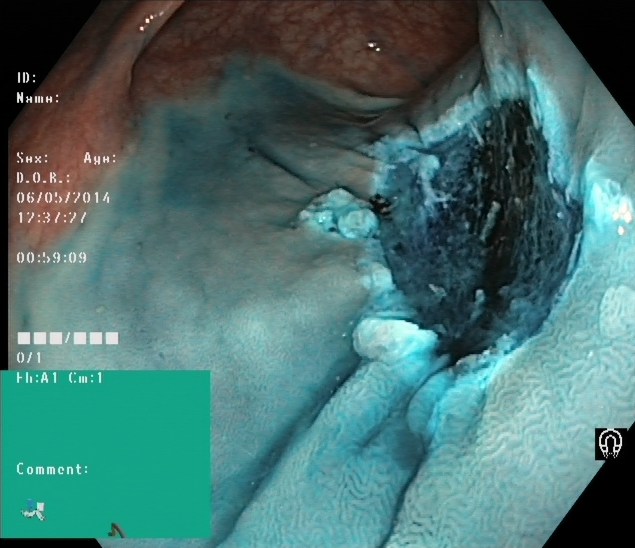{"modality": "lower-GI endoscopy", "category": "therapeutic intervention", "finding": "dyed resection margins (post-polypectomy)"}